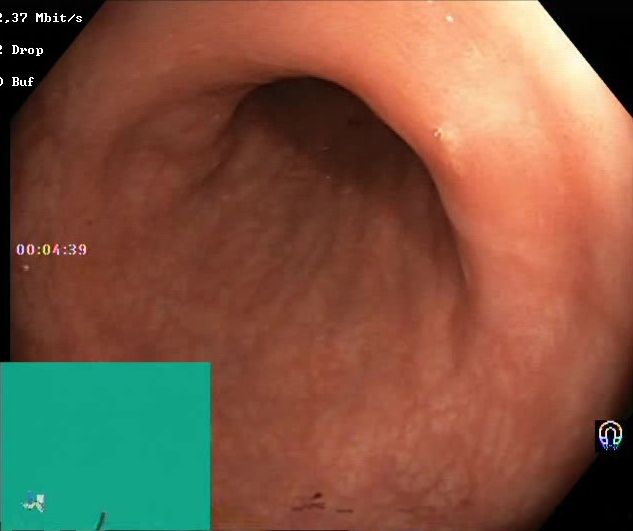Boston Bowel Preparation Scale score 2–3 (adequate preparation).